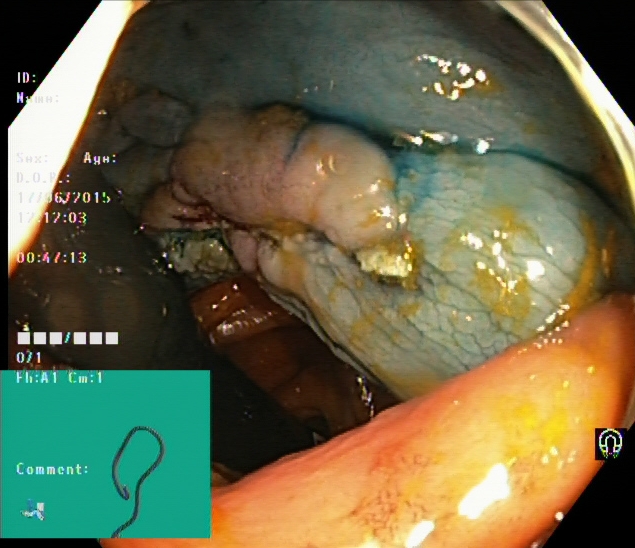Endoscopic image of the lower GI tract showing dyed and lifted polyp (pre-resection).